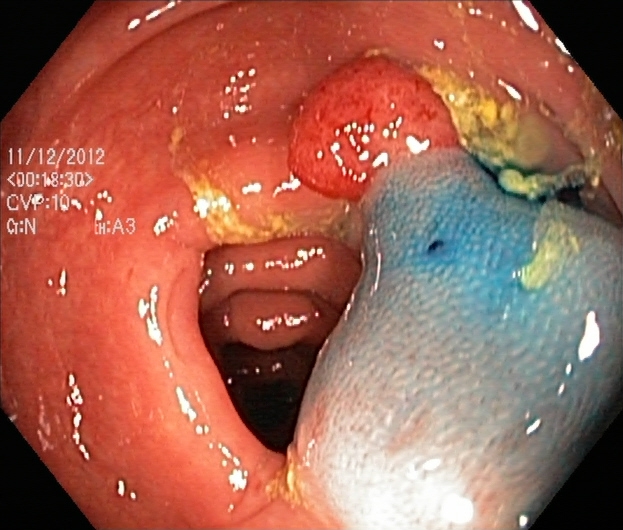Lower gastrointestinal endoscopy — dyed and lifted polyp (pre-resection).